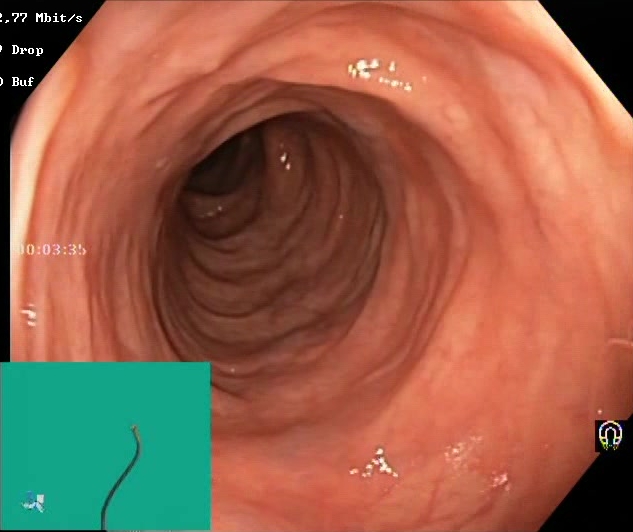PROCEDURE: Colonoscopy.
CATEGORY: Mucosal-view quality.
FINDINGS: Boston Bowel Preparation Scale score 2–3 (adequate preparation).